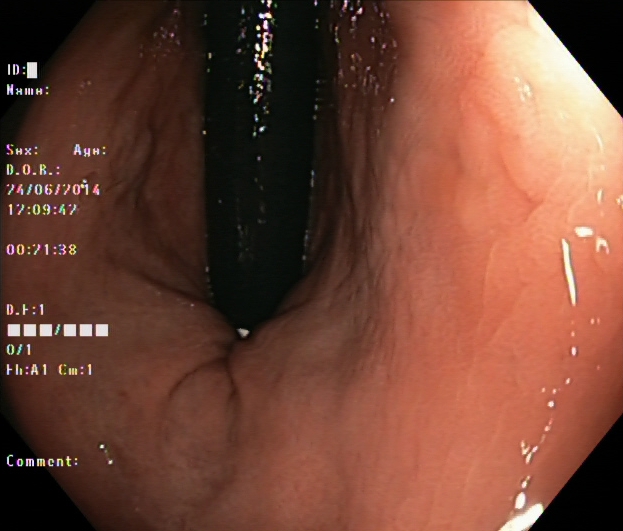Rectum in retroflexion.